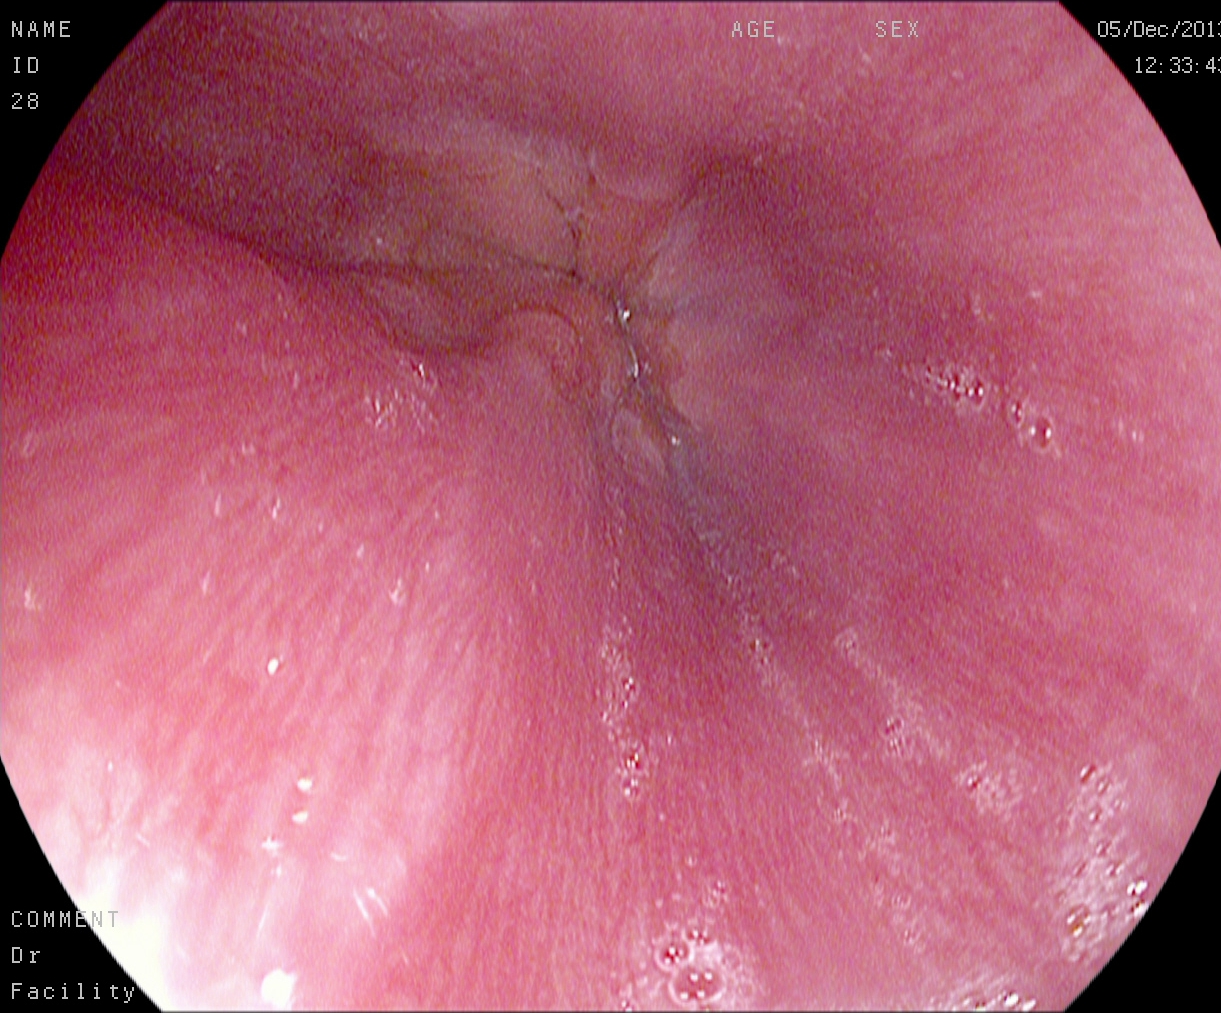{"modality": "esophagogastroduodenoscopy", "finding": "Z-line (gastroesophageal junction)"}